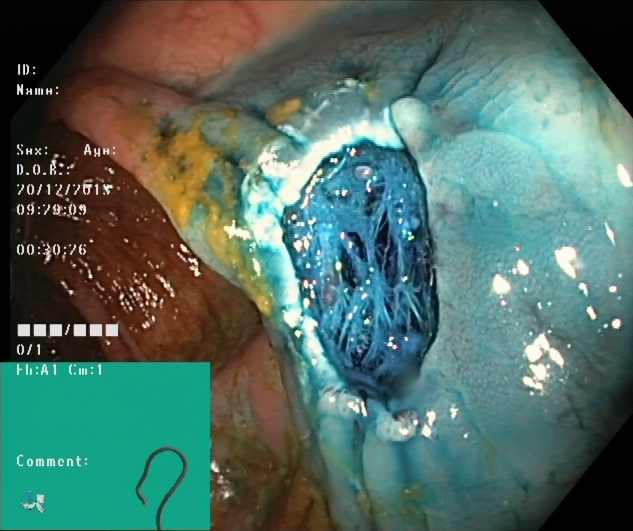PROCEDURE: Lower gastrointestinal endoscopy.
CATEGORY: Therapeutic intervention.
FINDINGS: Dyed resection margins (post-polypectomy).